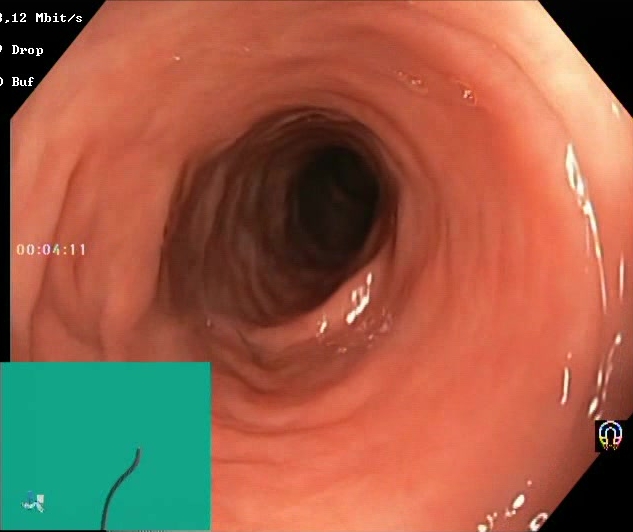This endoscopy frame of the lower GI tract shows Boston Bowel Preparation Scale score 2–3 (adequate preparation).